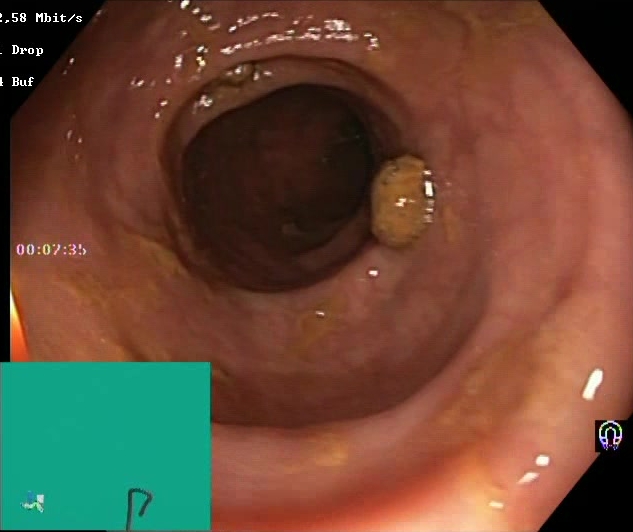Boston Bowel Preparation Scale score 2–3 (adequate preparation).